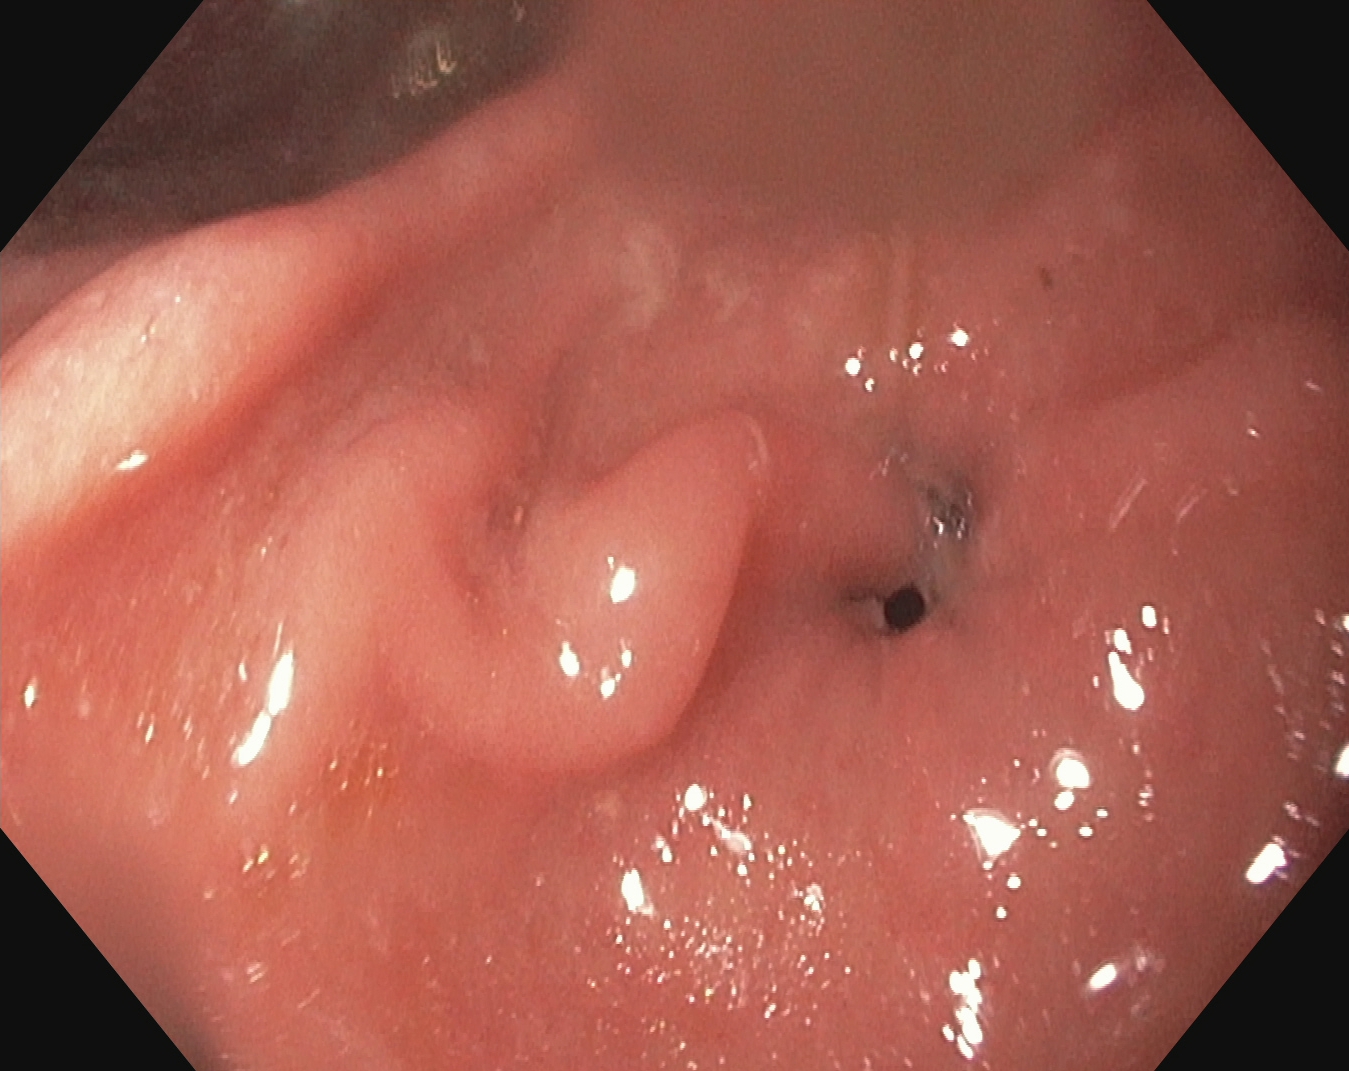modality: esophagogastroduodenoscopy
tract: upper GI tract
category: anatomical landmark
finding: pylorus